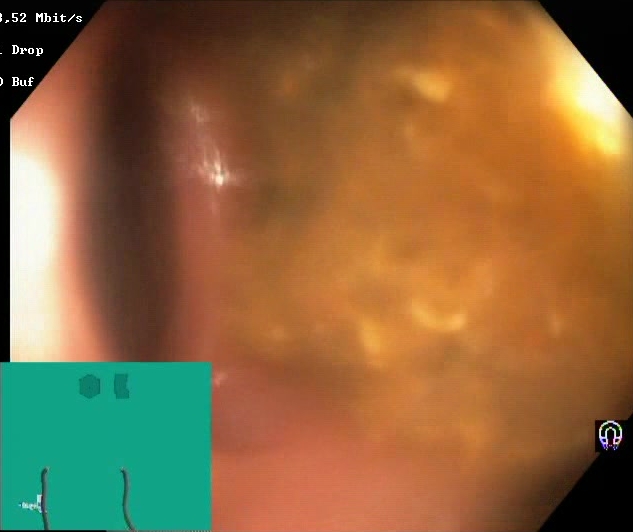BBPS score 0–1 (inadequate preparation).